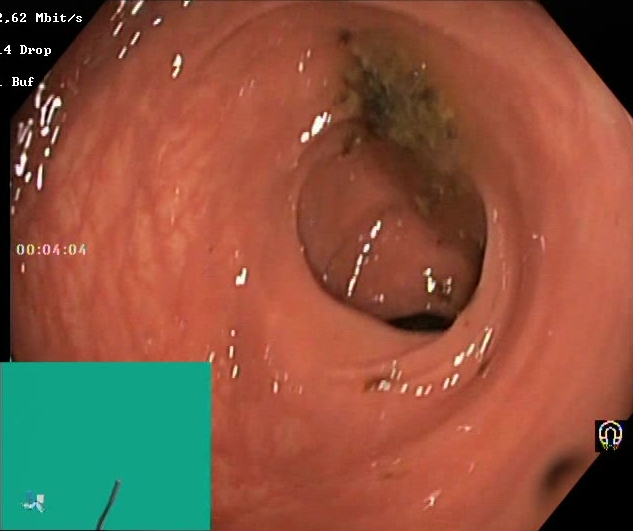Lower gastrointestinal endoscopy — BBPS score 0–1 (inadequate preparation).